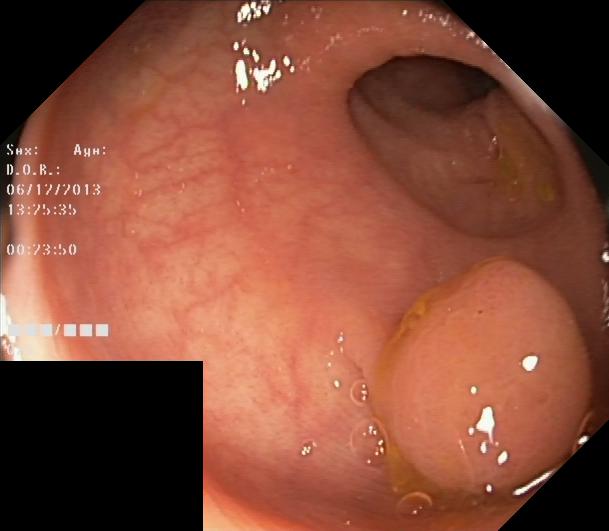Lower gastrointestinal endoscopy — colorectal polyp(s).